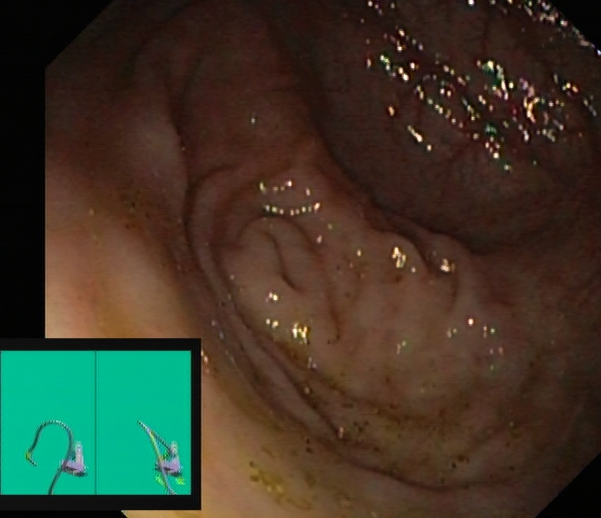Cecum.